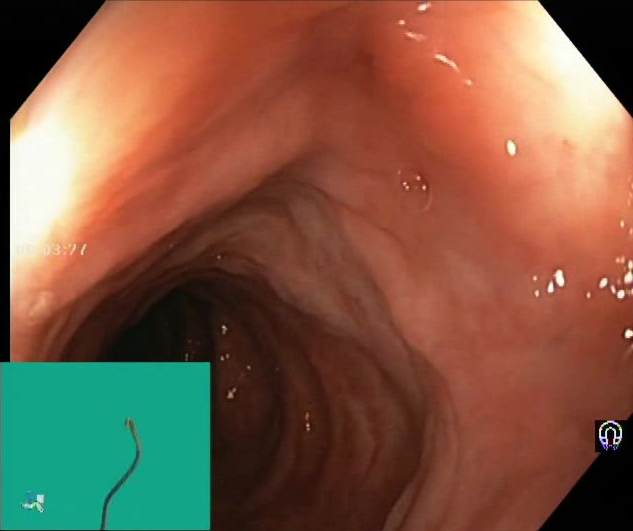PROCEDURE: Lower-GI endoscopy.
FINDINGS: Boston Bowel Preparation Scale score 2–3 (adequate preparation).